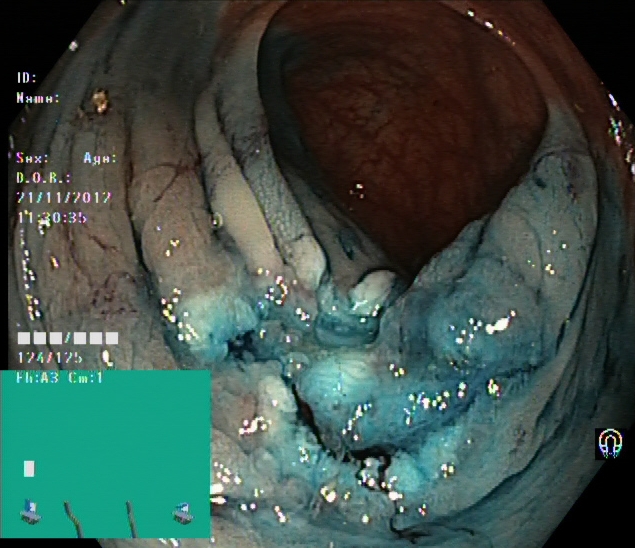{"modality": "lower gastrointestinal endoscopy", "finding": "dyed resection margins (post-polypectomy)"}